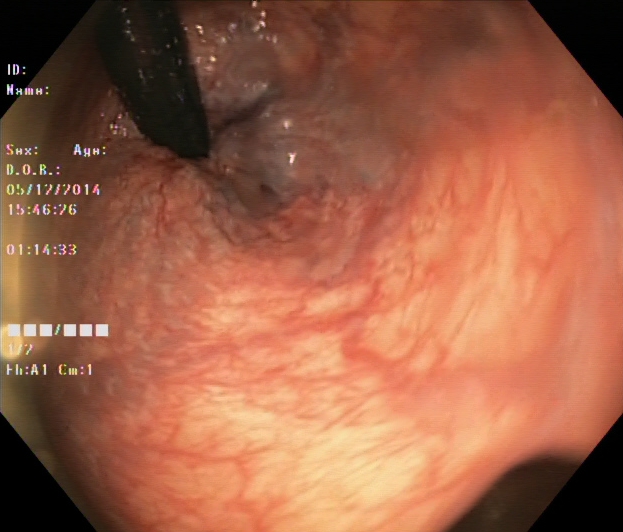Lower gastrointestinal endoscopy. Tract: lower GI tract. Finding: hemorrhoids.